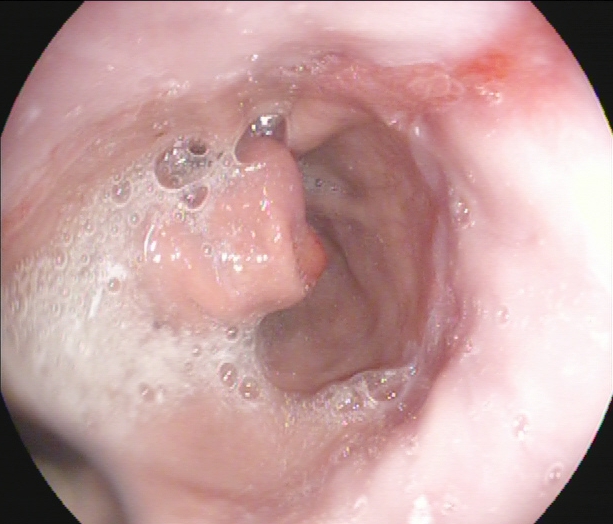modality: EGD
tract: upper GI tract
finding: reflux esophagitis, LA grade A